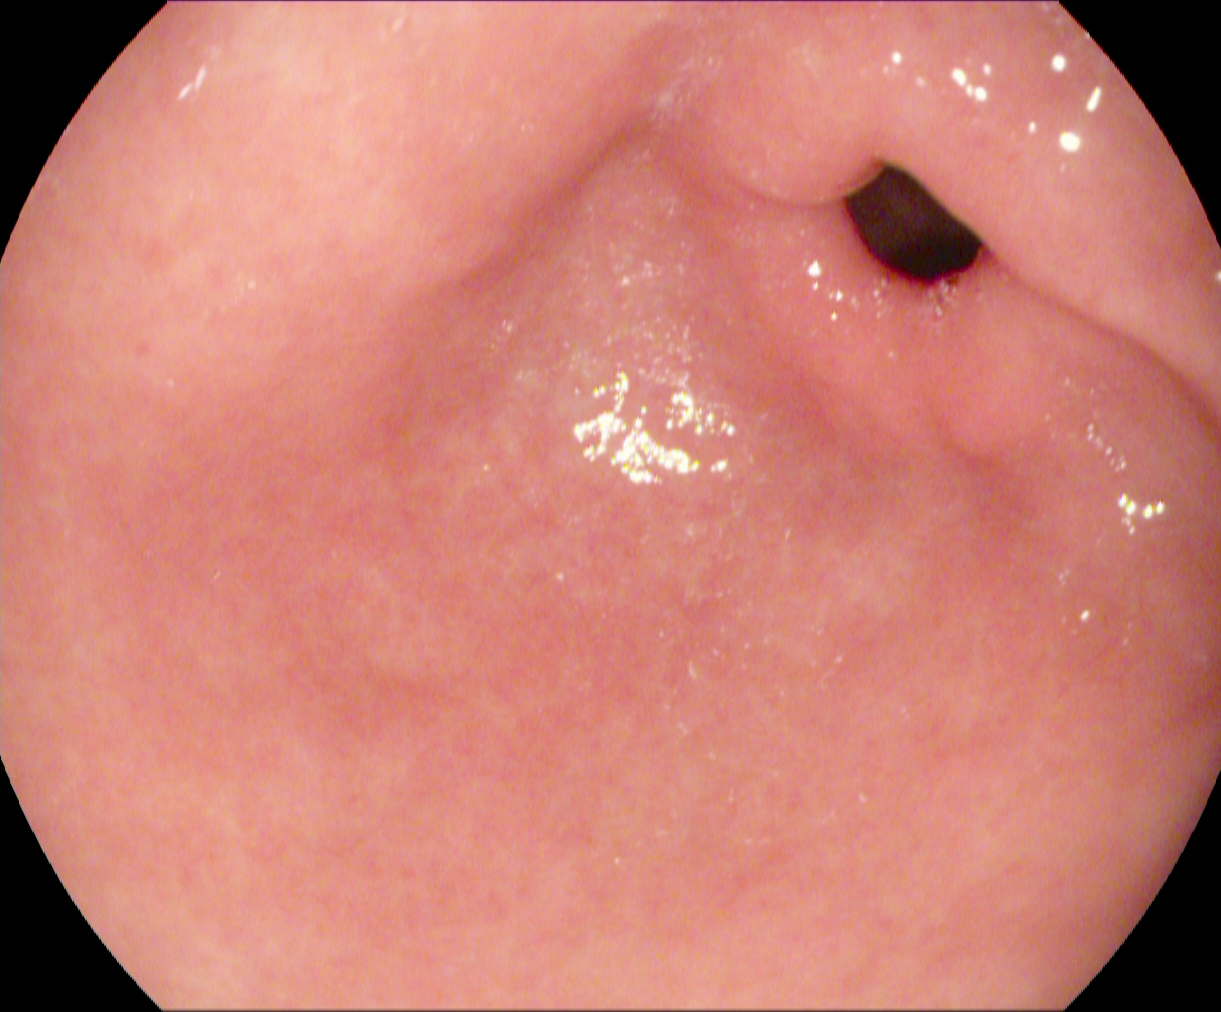pylorus.